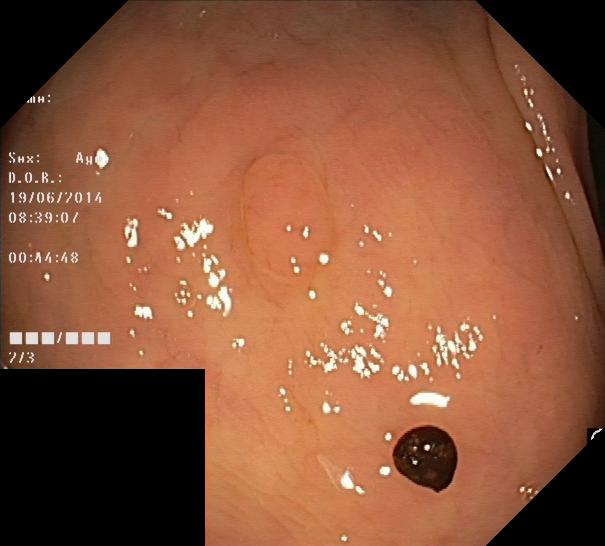This endoscopic image shows colorectal polyp(s).